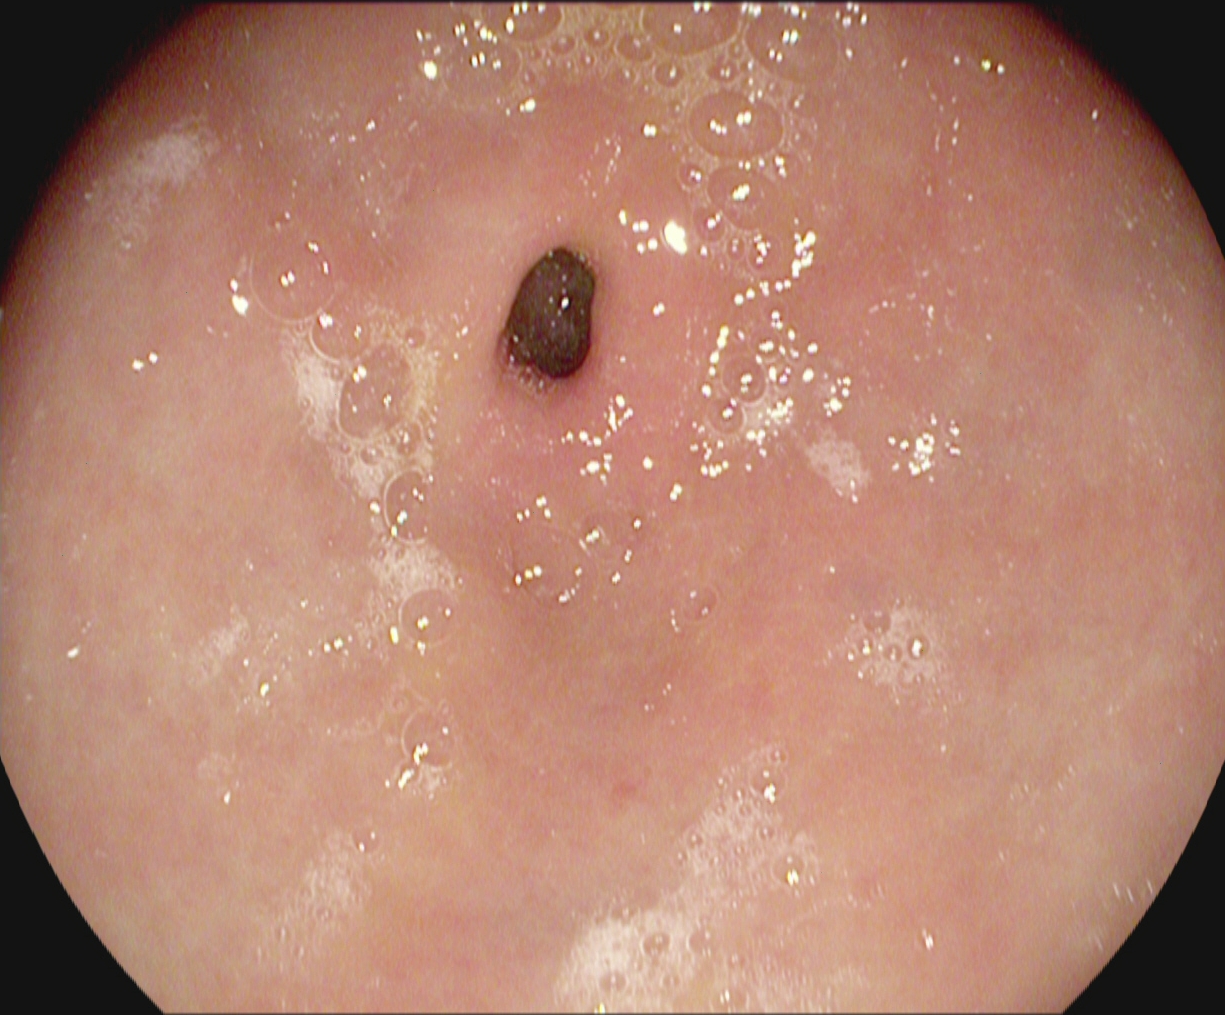This endoscopic image of the upper GI tract shows pylorus.